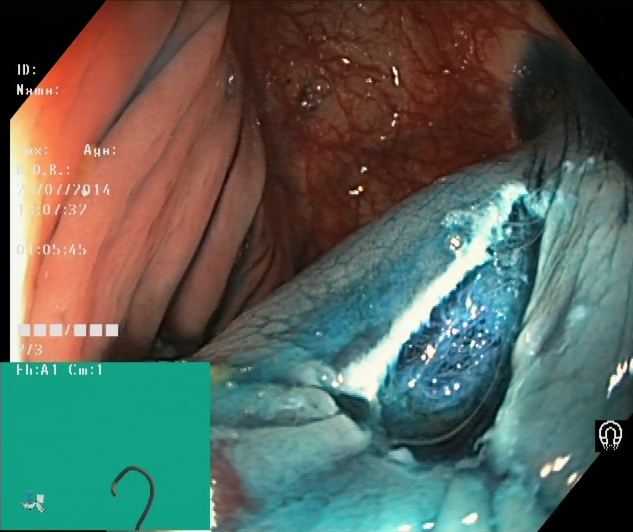Dyed resection margins (post-polypectomy).